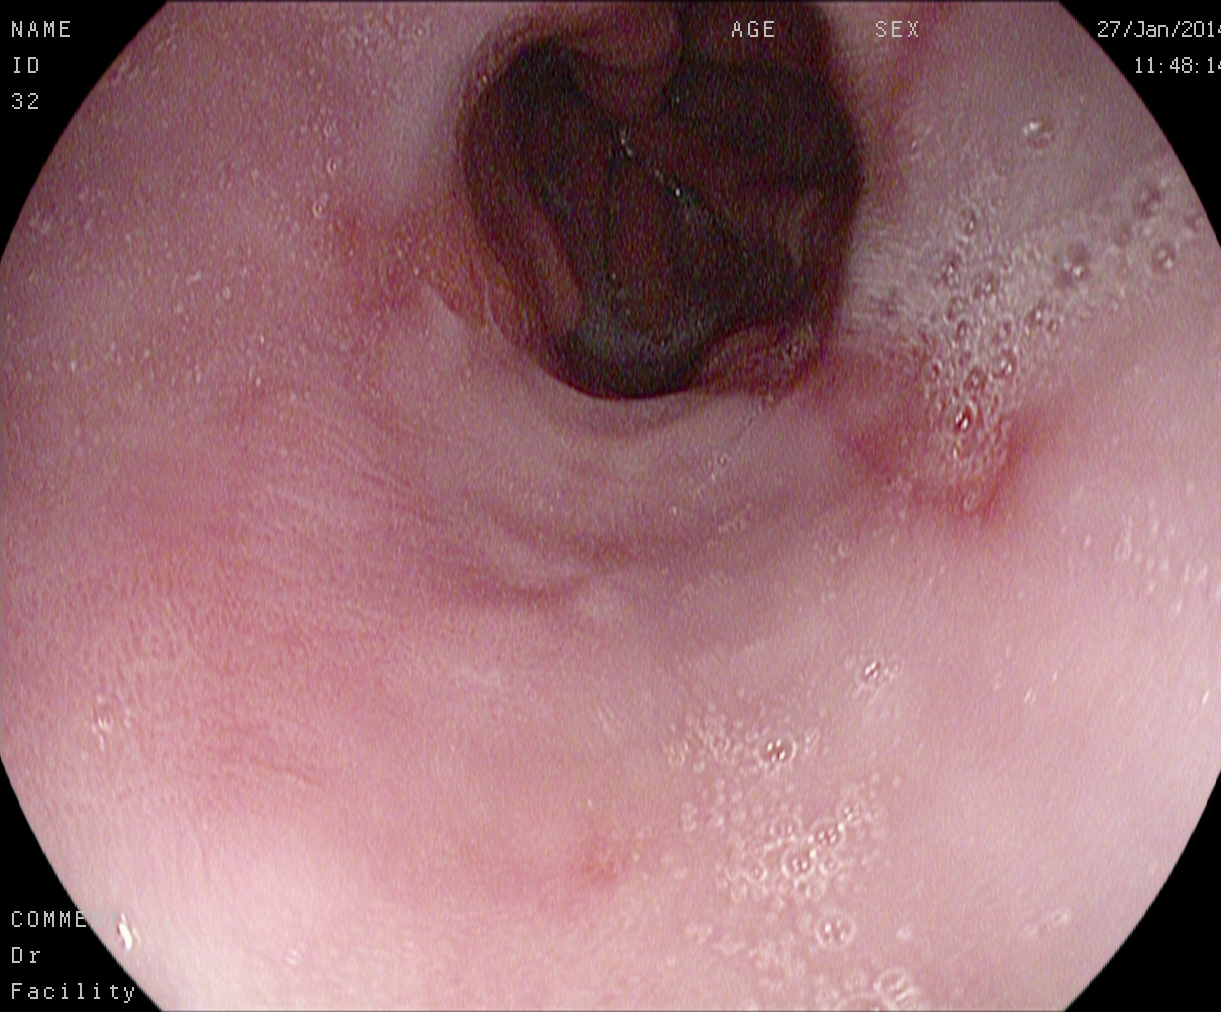Gastroscopy image of the upper GI tract showing reflux esophagitis, Los Angeles grade B–D.